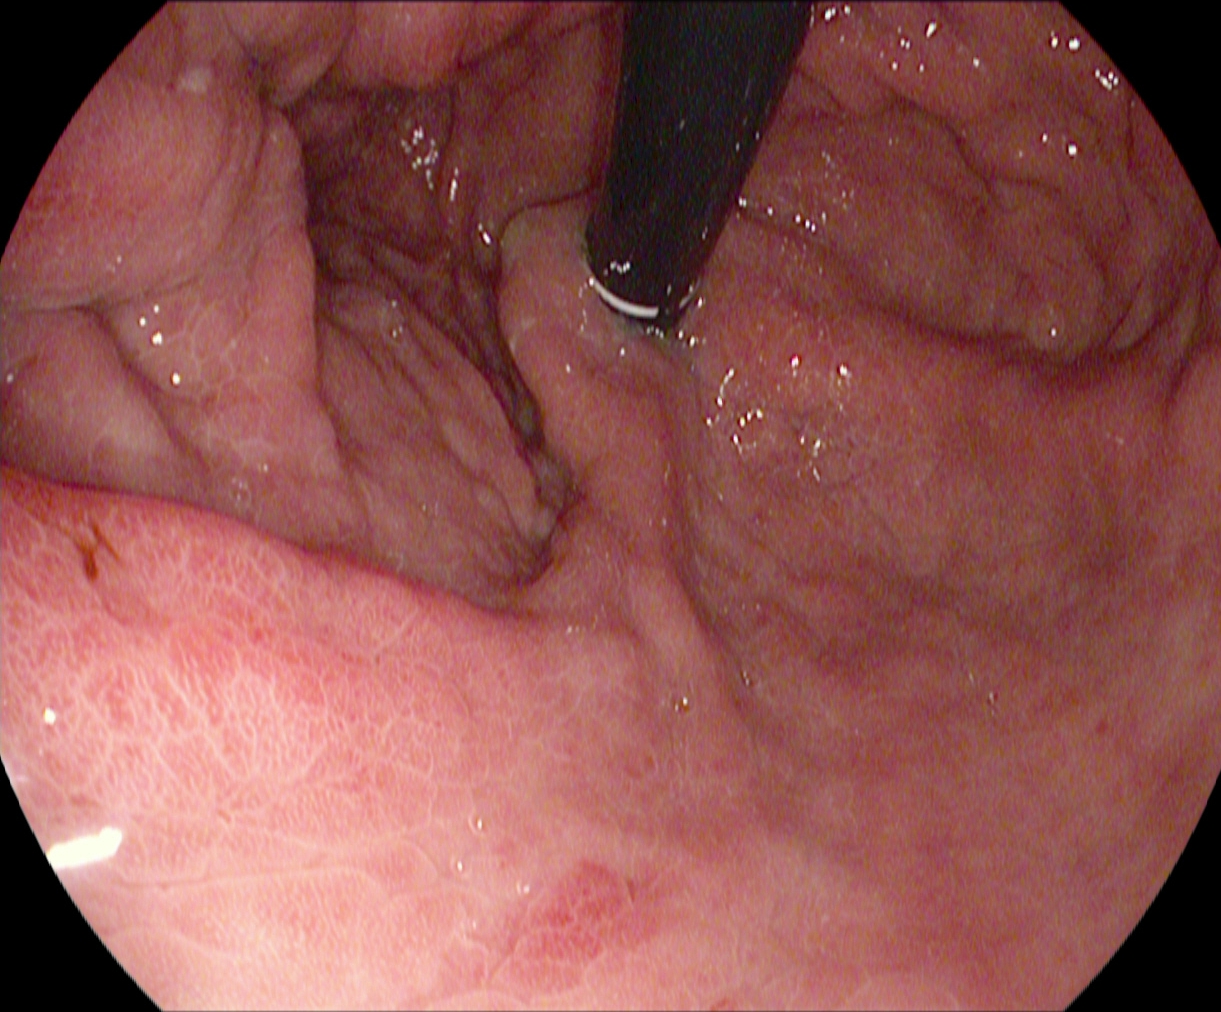This endoscopy frame of the upper GI tract shows stomach in retroflexion.